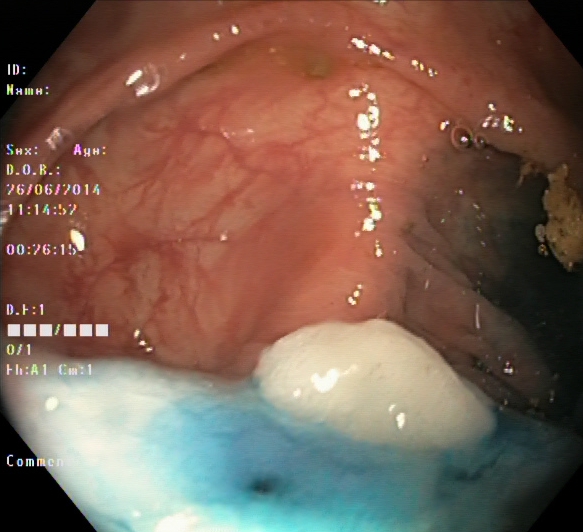Dyed and lifted polyp (pre-resection).